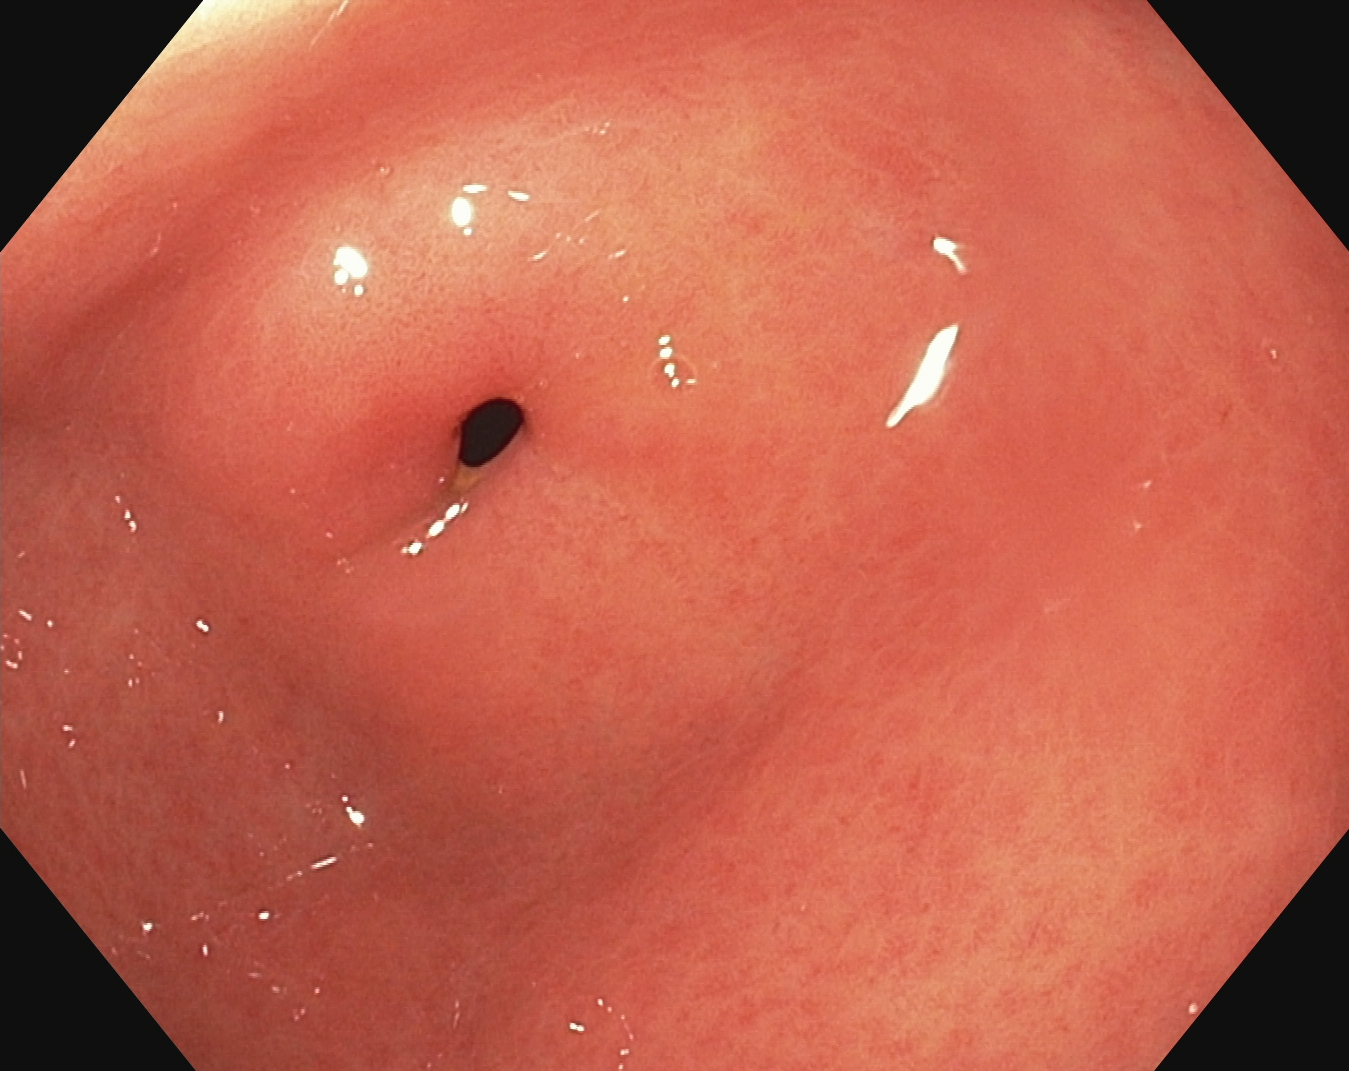{"modality": "upper-GI endoscopy", "tract": "upper GI tract", "category": "anatomical landmark", "finding": "pylorus"}